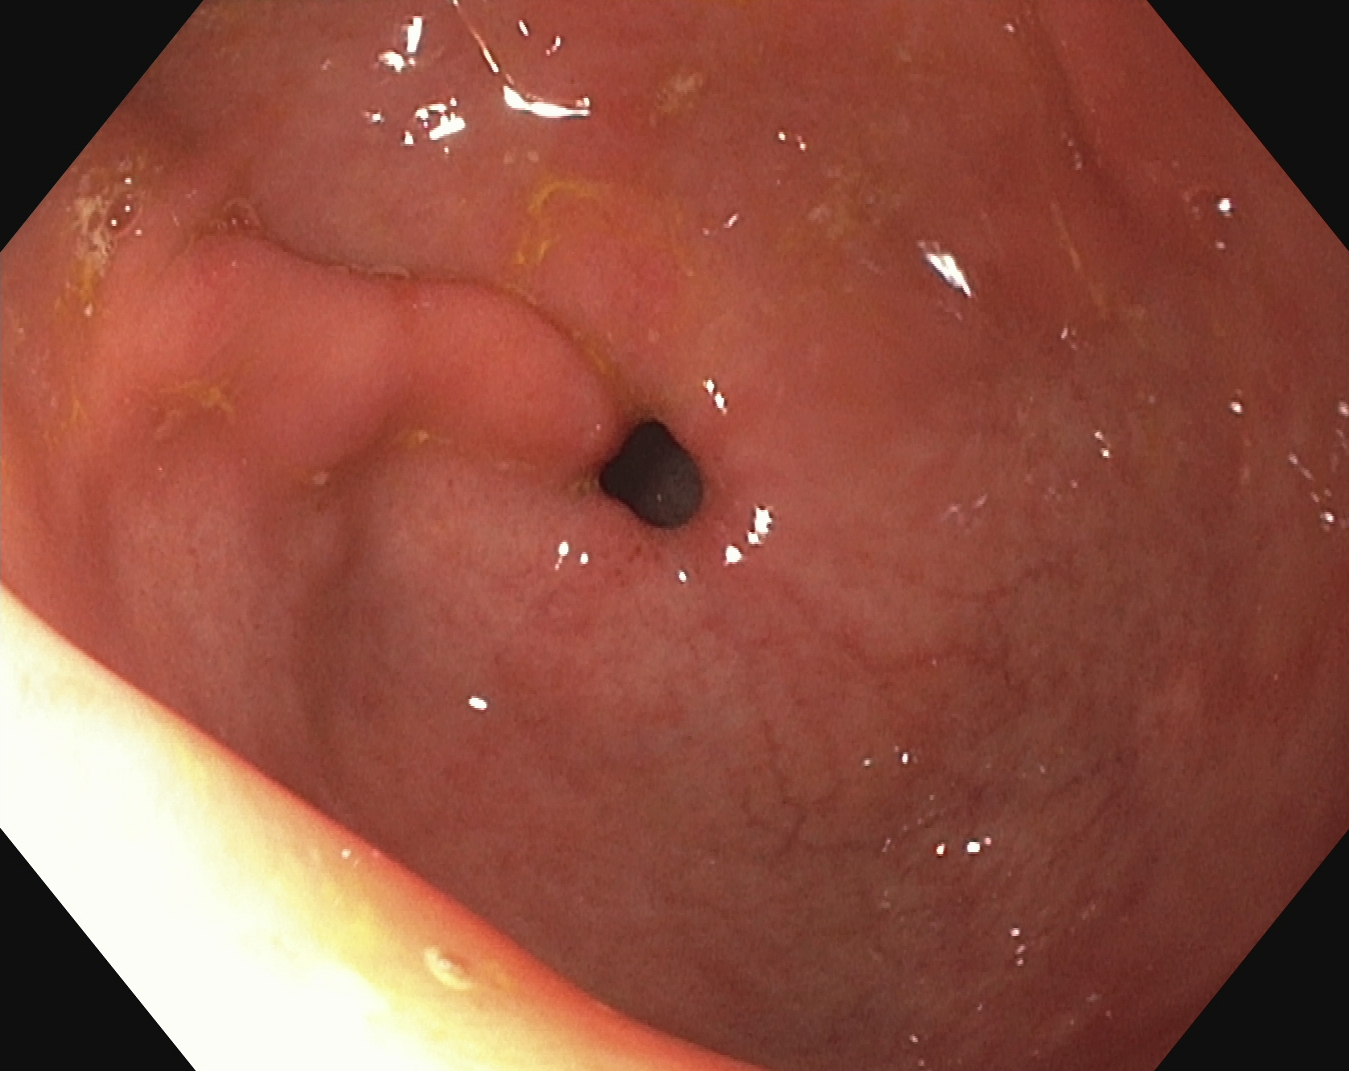pylorus.